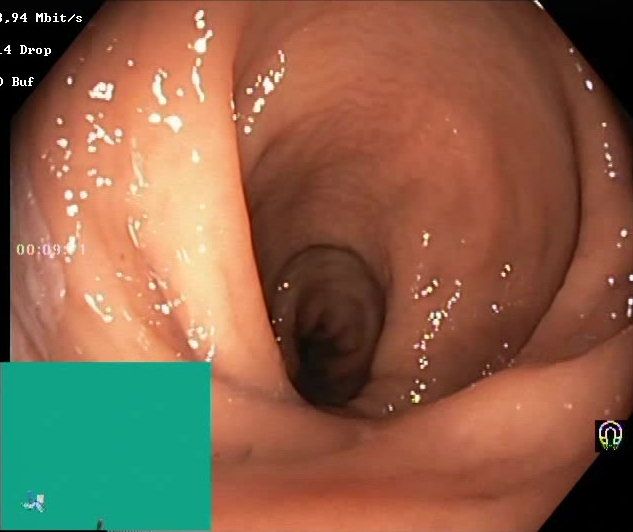{"modality": "lower gastrointestinal endoscopy", "tract": "lower GI tract", "finding": "Boston Bowel Preparation Scale score 2\u20133 (adequate preparation)"}